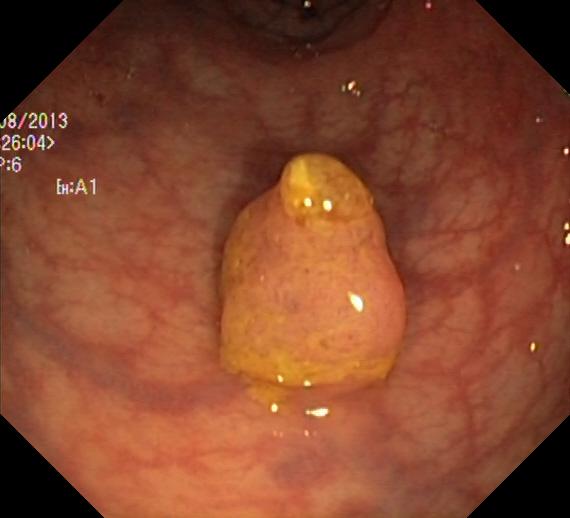PROCEDURE: Colonoscopy.
FINDINGS: Colorectal polyp(s).